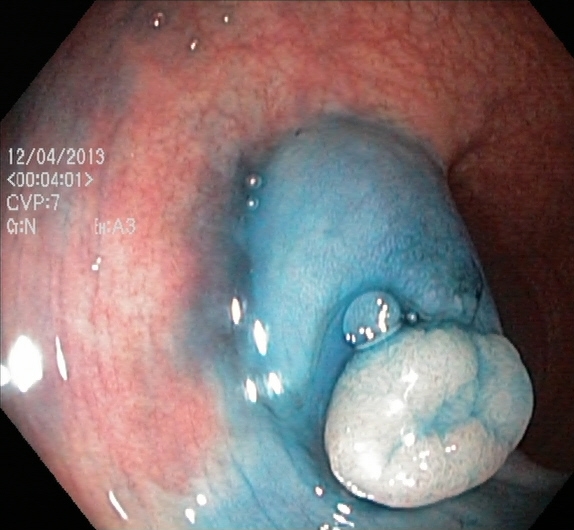Dyed and lifted polyp (pre-resection).